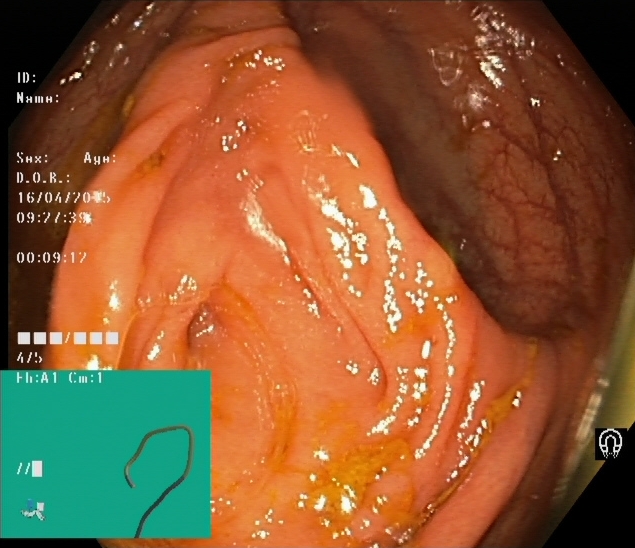cecum.